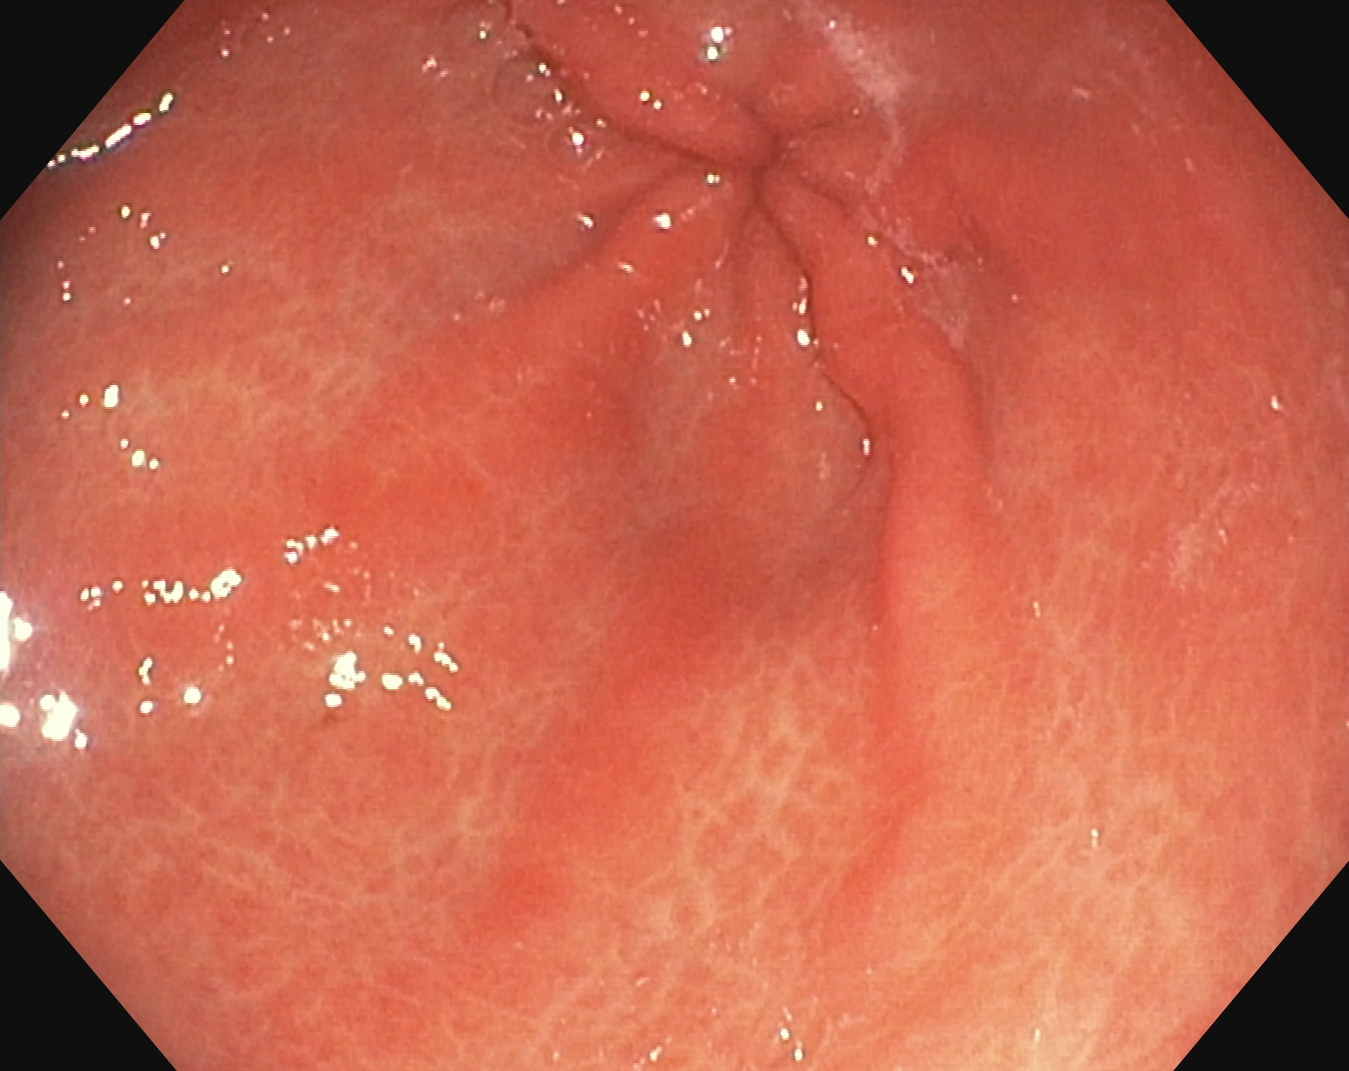PROCEDURE: Upper-GI endoscopy.
FINDINGS: Pylorus.